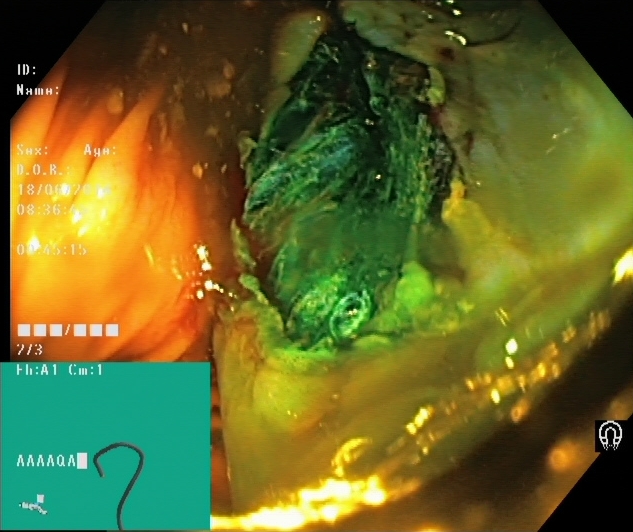This endoscopy frame shows dyed resection margins (post-polypectomy).